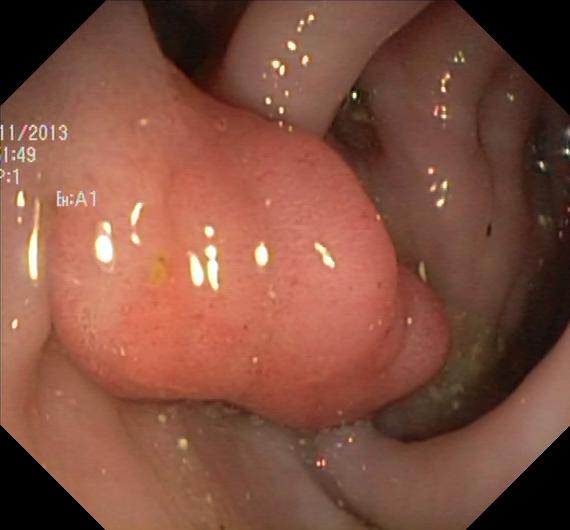Colonoscopy — colorectal polyp(s).